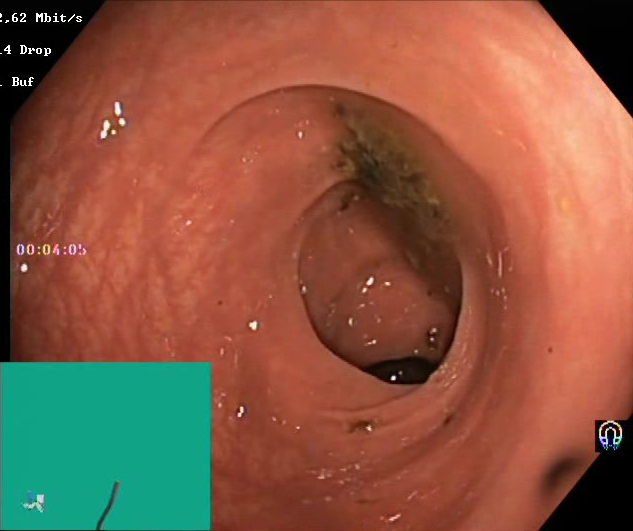Lower-GI endoscopy image of the lower GI tract showing BBPS score 0–1 (inadequate preparation).